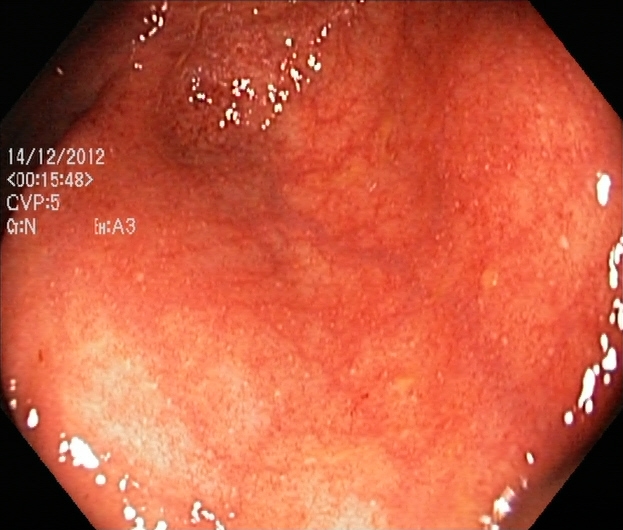ulcerative colitis, Mayo endoscopic subscore 1.